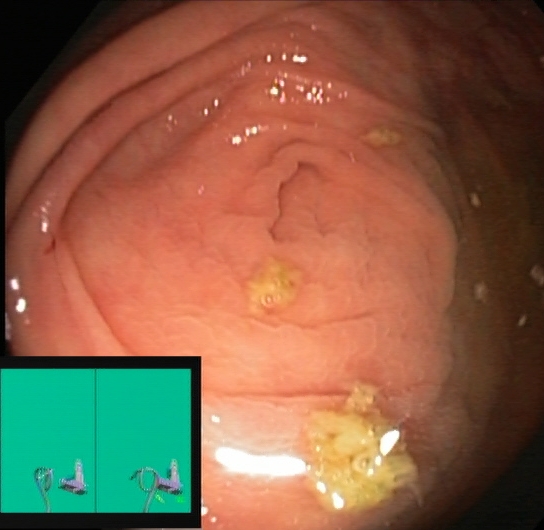{"modality": "lower-GI endoscopy", "category": "anatomical landmark", "finding": "cecum"}